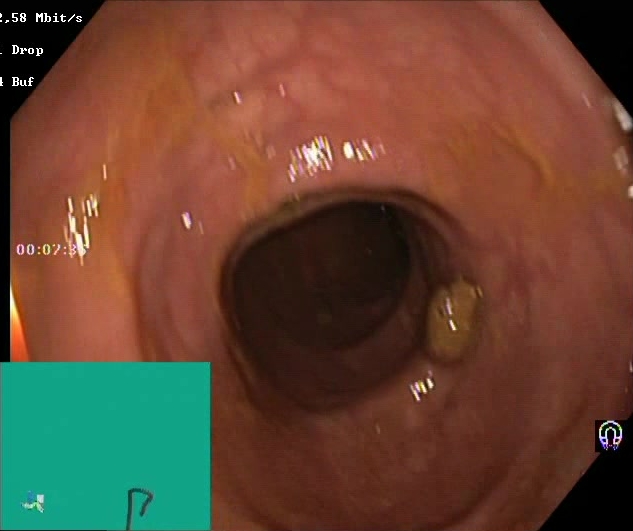BBPS score 2–3 (adequate preparation).